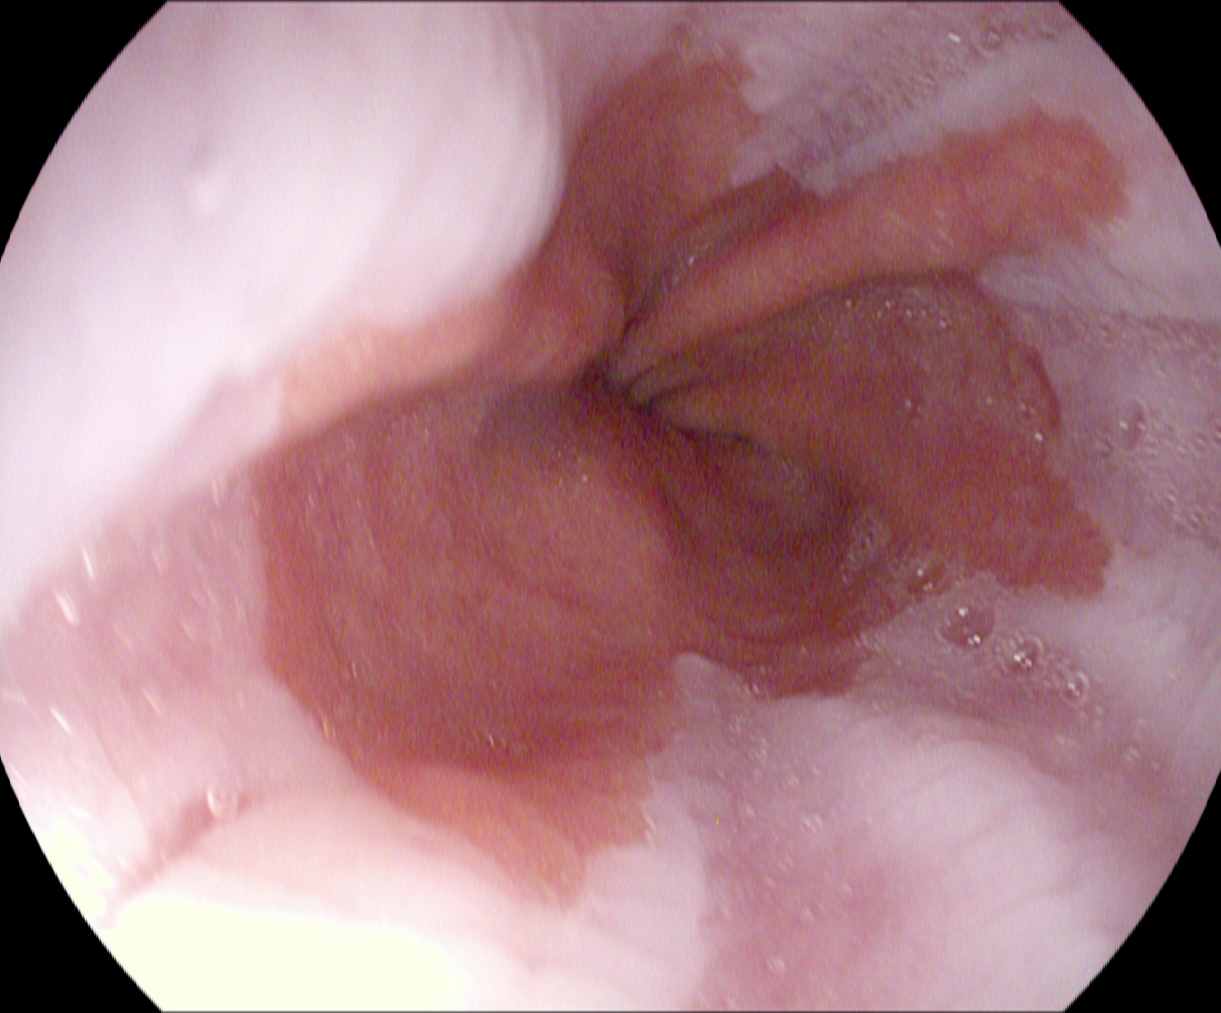PROCEDURE: Gastroscopy.
FINDINGS: Barrett's esophagus, short segment.